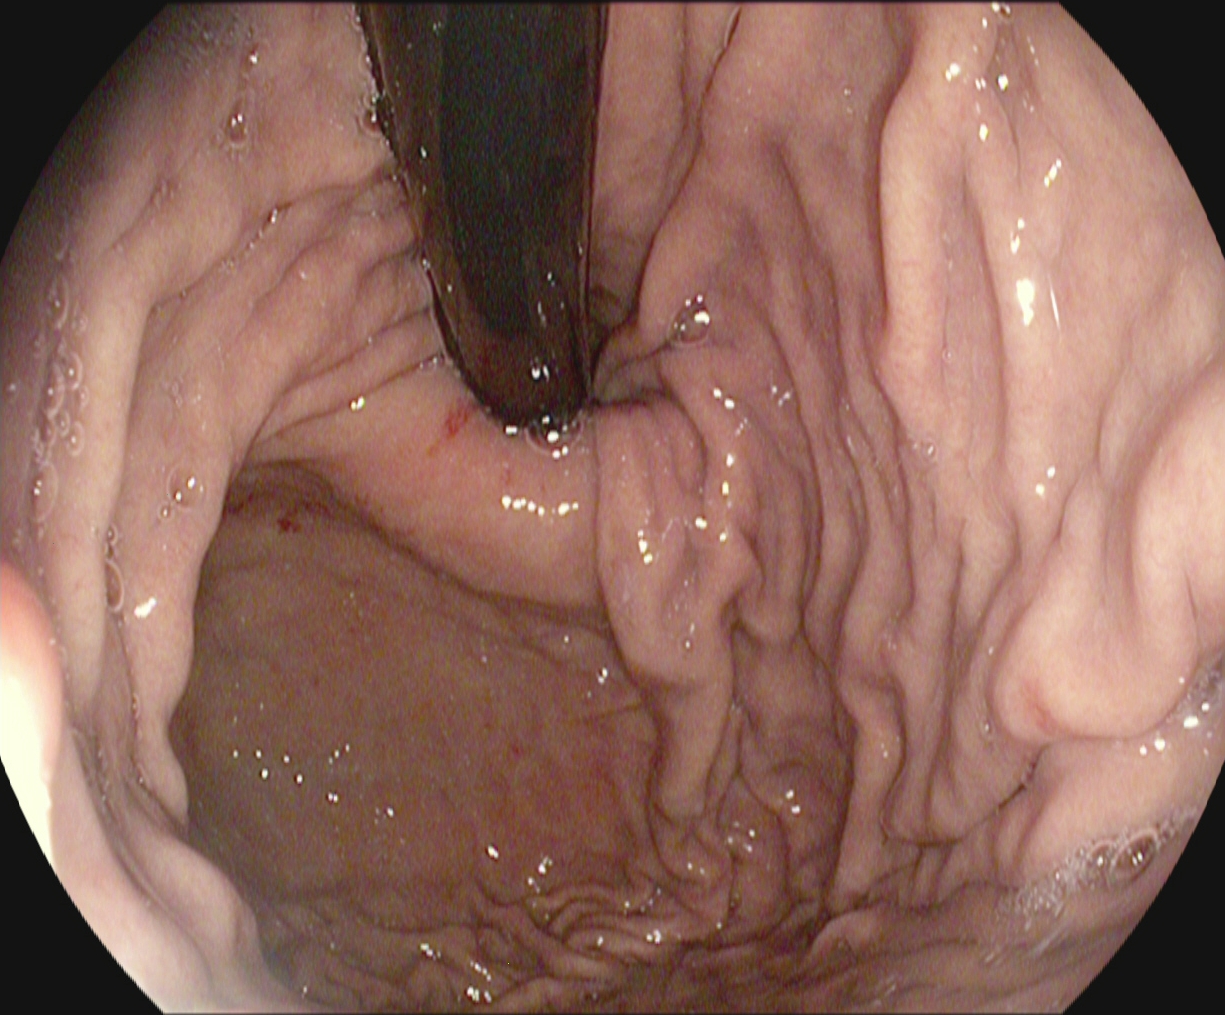Upper-GI endoscopy — stomach in retroflexion.